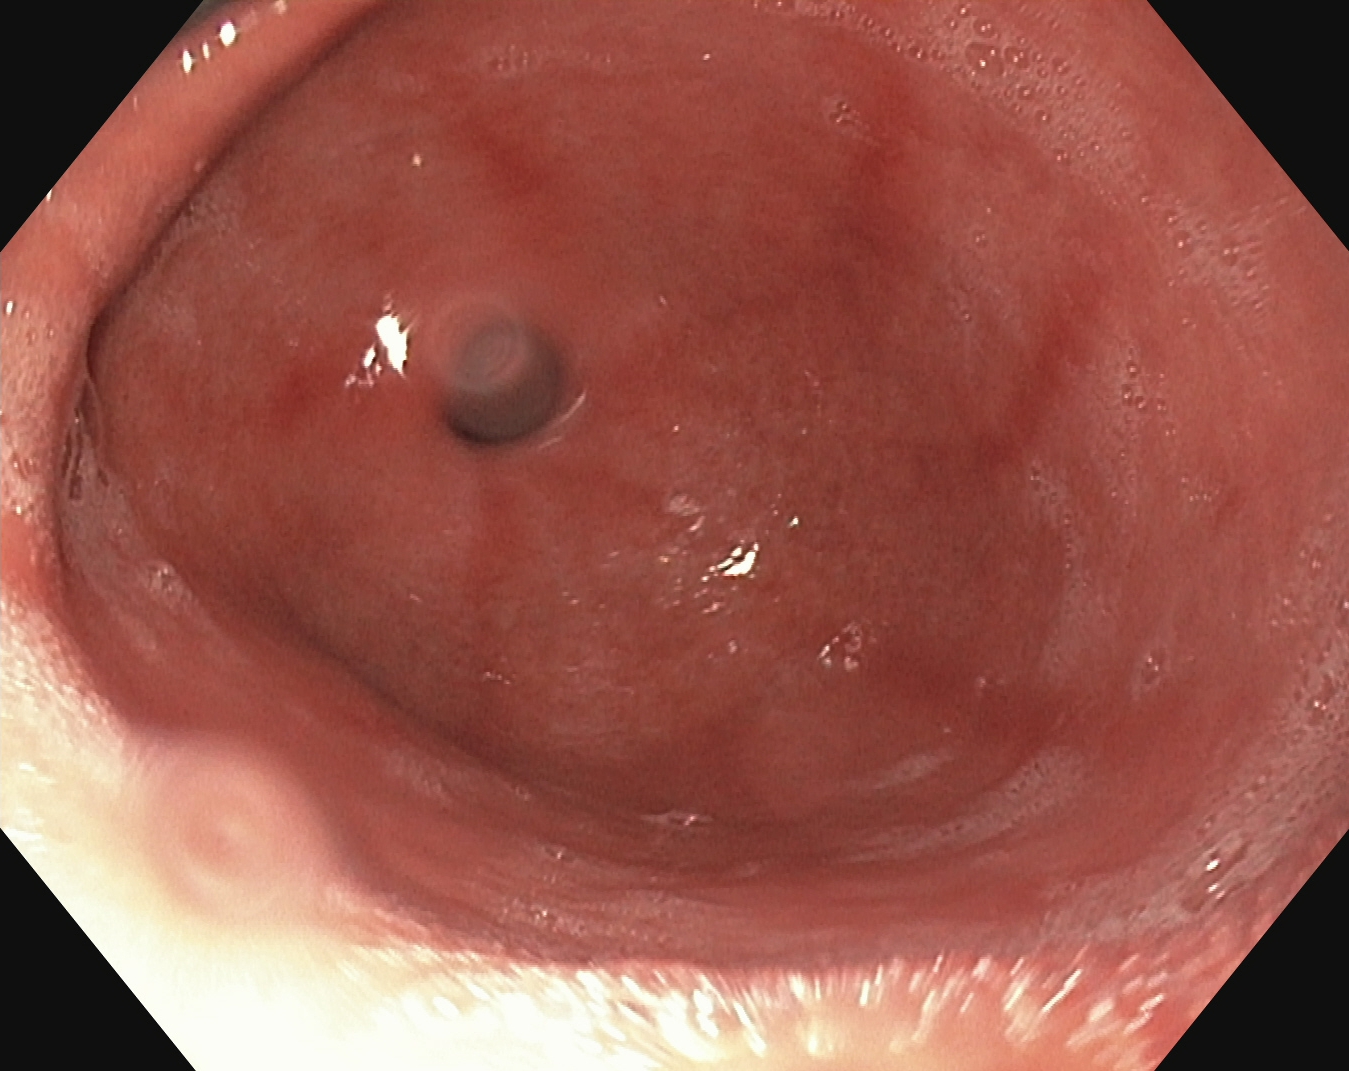Upper-GI endoscopy — pylorus.